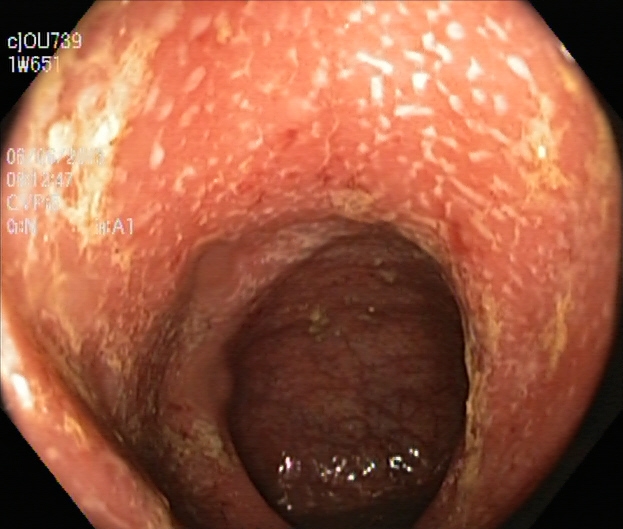{"modality": "lower gastrointestinal endoscopy", "tract": "lower GI tract", "finding": "ulcerative colitis, Mayo endoscopic subscore 2"}